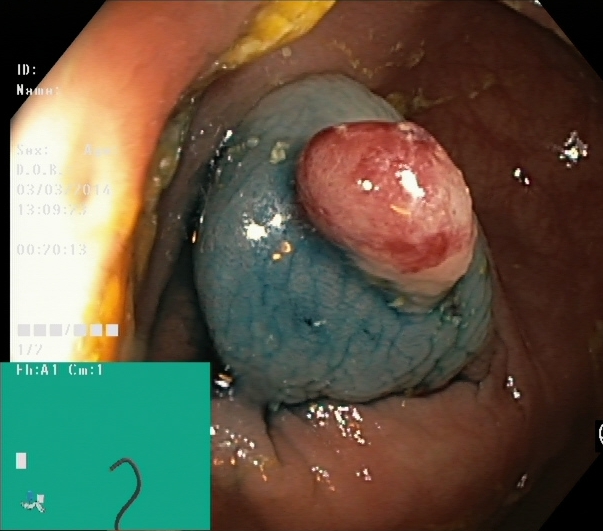modality: lower gastrointestinal endoscopy
tract: lower GI tract
finding: dyed and lifted polyp (pre-resection)